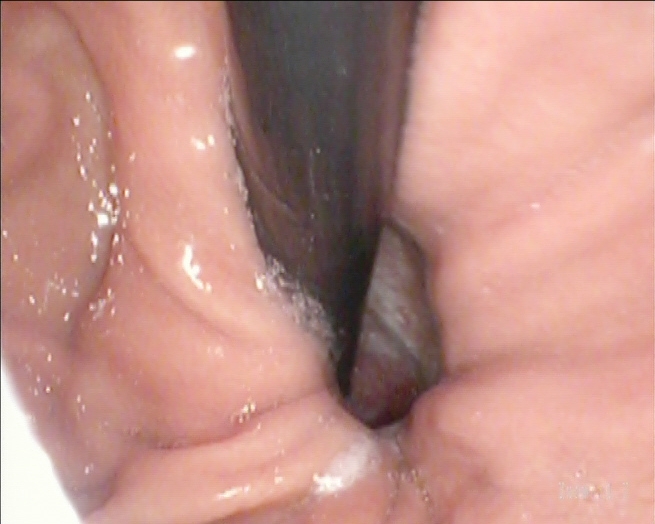{"modality": "EGD", "tract": "upper GI tract", "finding": "stomach in retroflexion"}